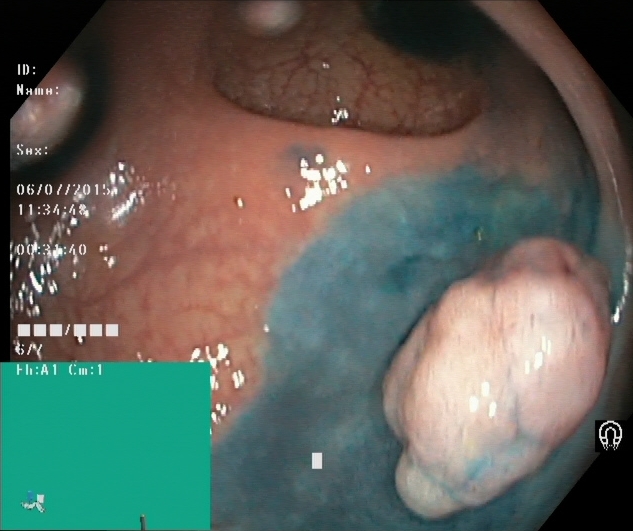Endoscopic frame of the lower GI tract showing dyed and lifted polyp (pre-resection).